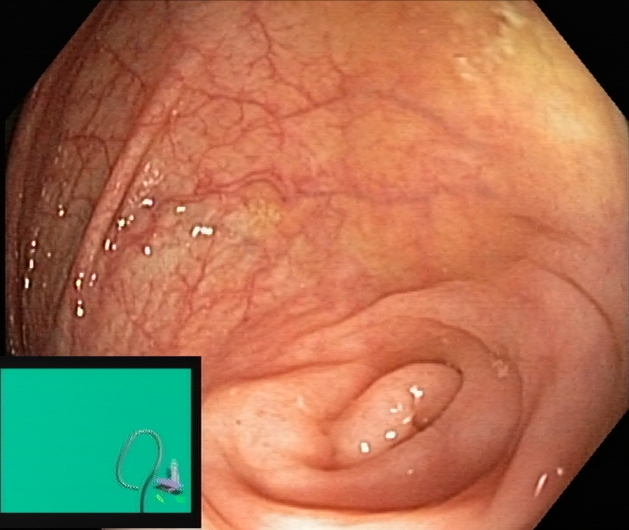PROCEDURE: Lower gastrointestinal endoscopy.
FINDINGS: Cecum.